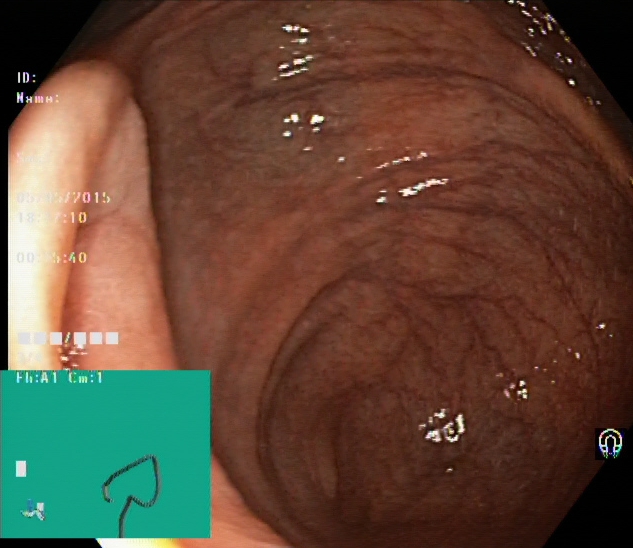PROCEDURE: Colonoscopy.
FINDINGS: Cecum.